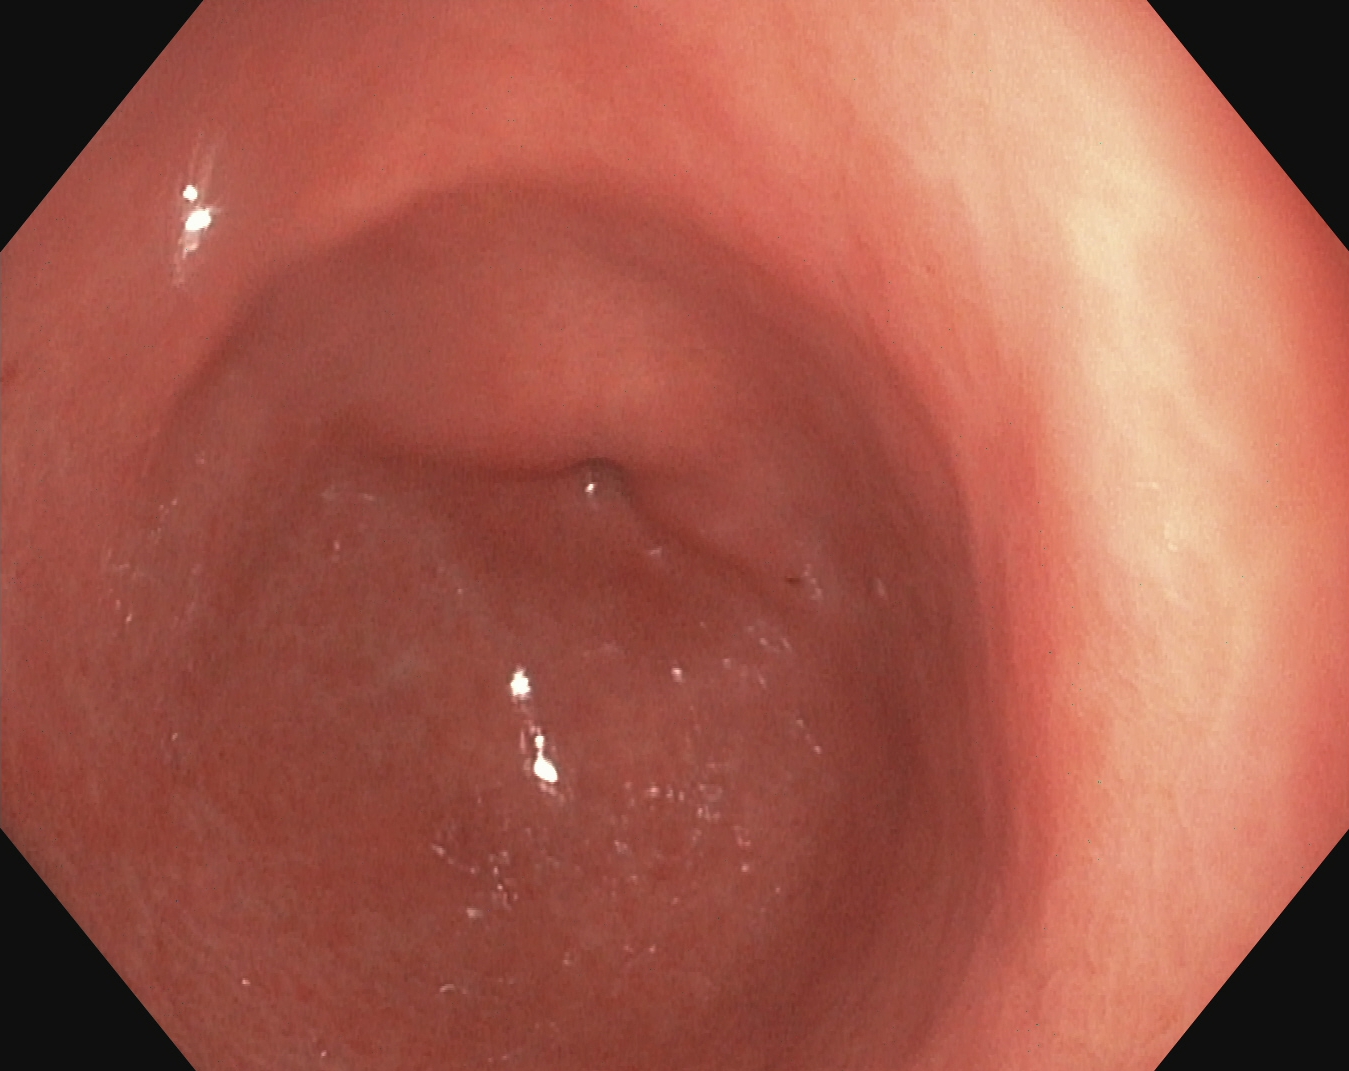Esophagogastroduodenoscopy. Tract: upper GI tract. Finding: pylorus.